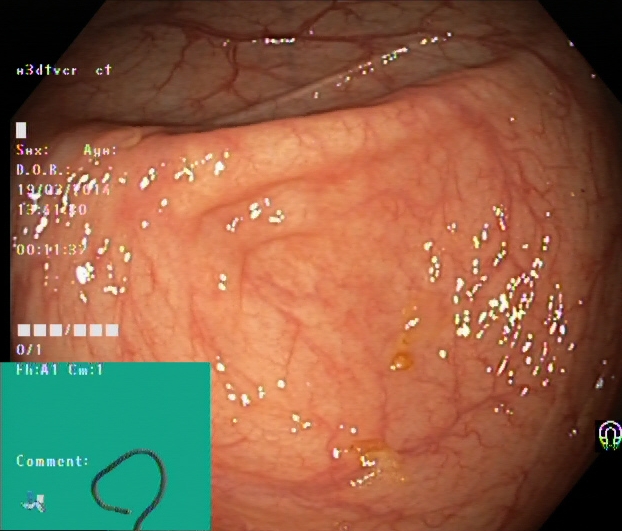Cecum.